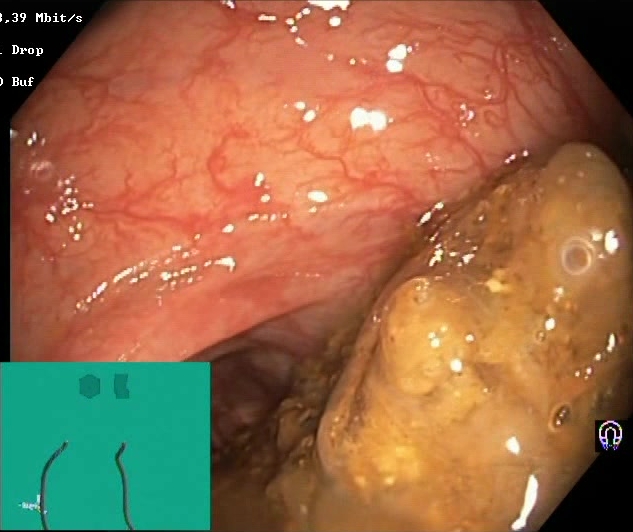This endoscopy frame shows Boston Bowel Preparation Scale score 0–1 (inadequate preparation).